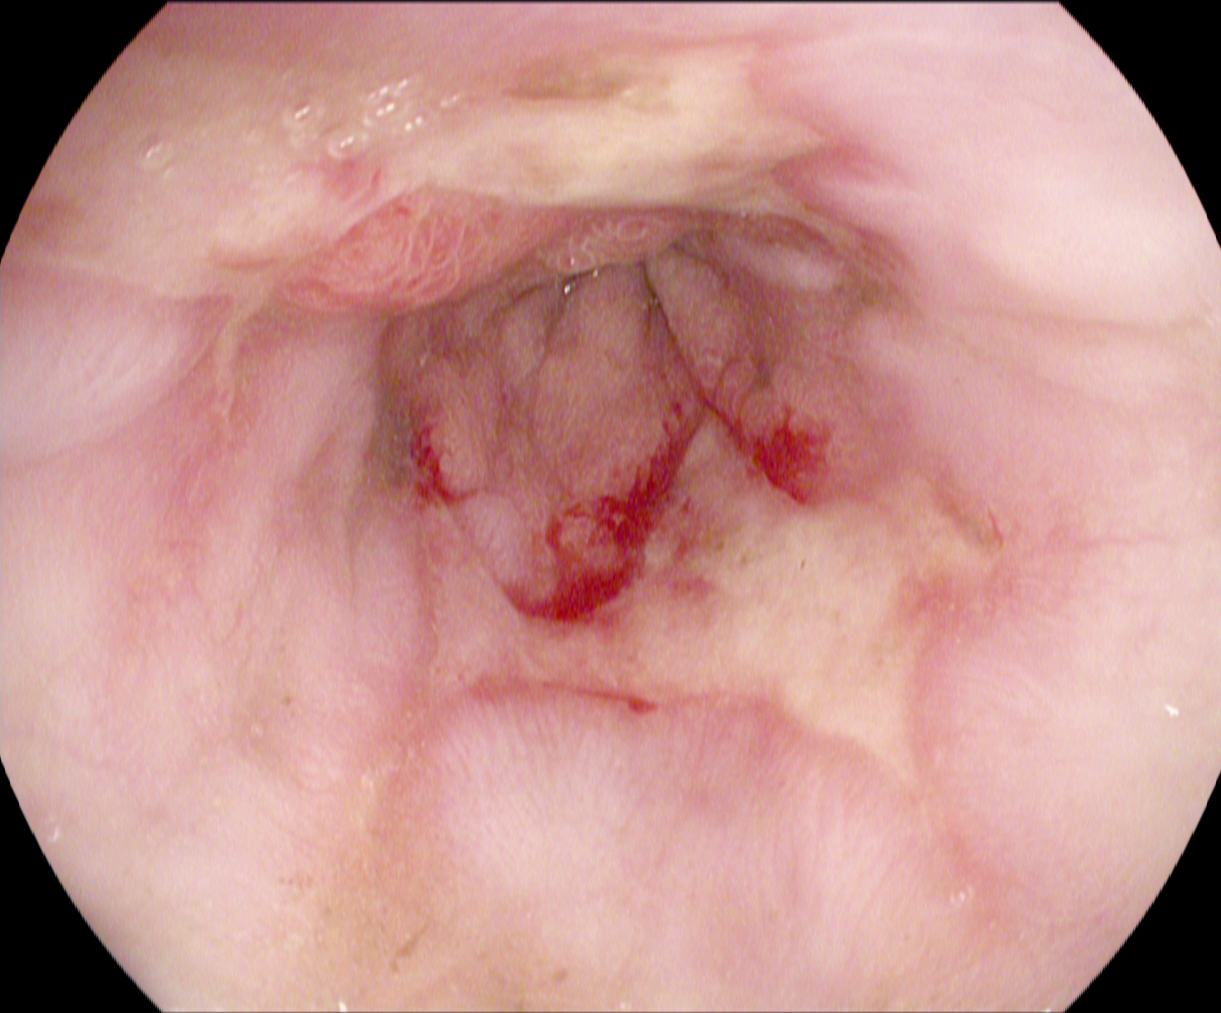Esophagogastroduodenoscopy. Finding: reflux esophagitis, Los Angeles grade B–D.